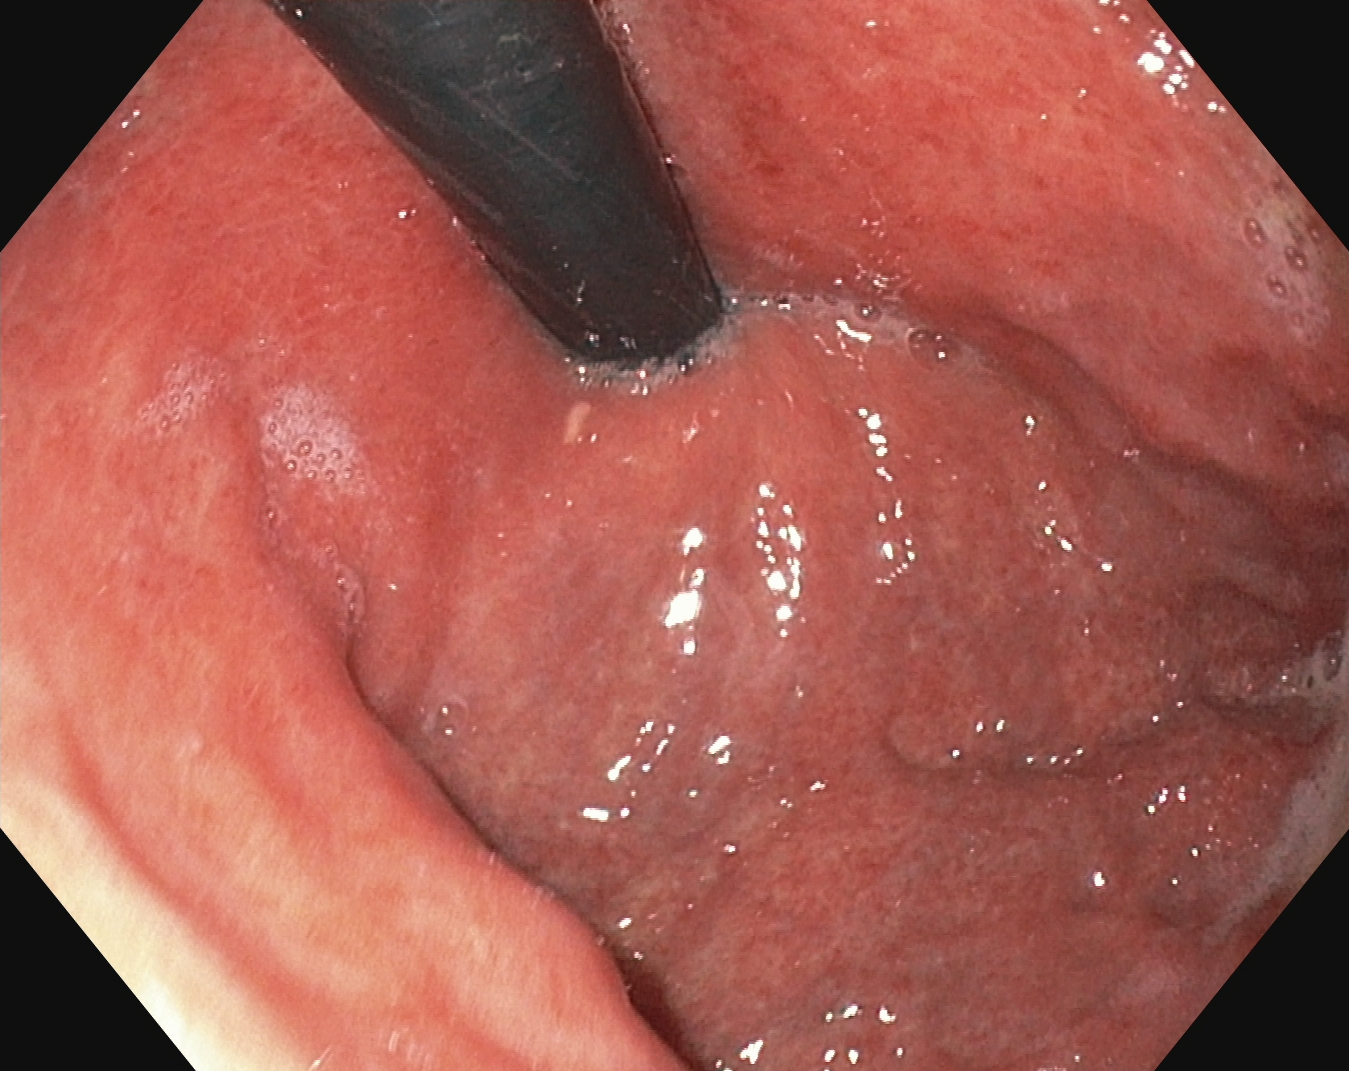This endoscopy frame of the upper GI tract shows stomach in retroflexion.